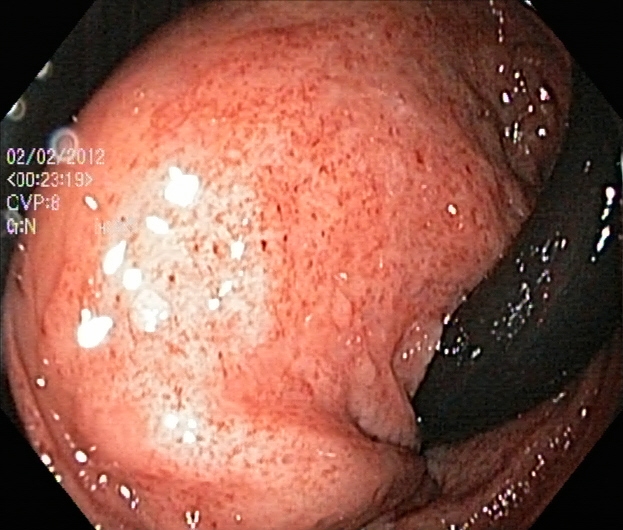Colonoscopy. Pathological finding. Finding: ulcerative colitis, Mayo endoscopic subscore 2.